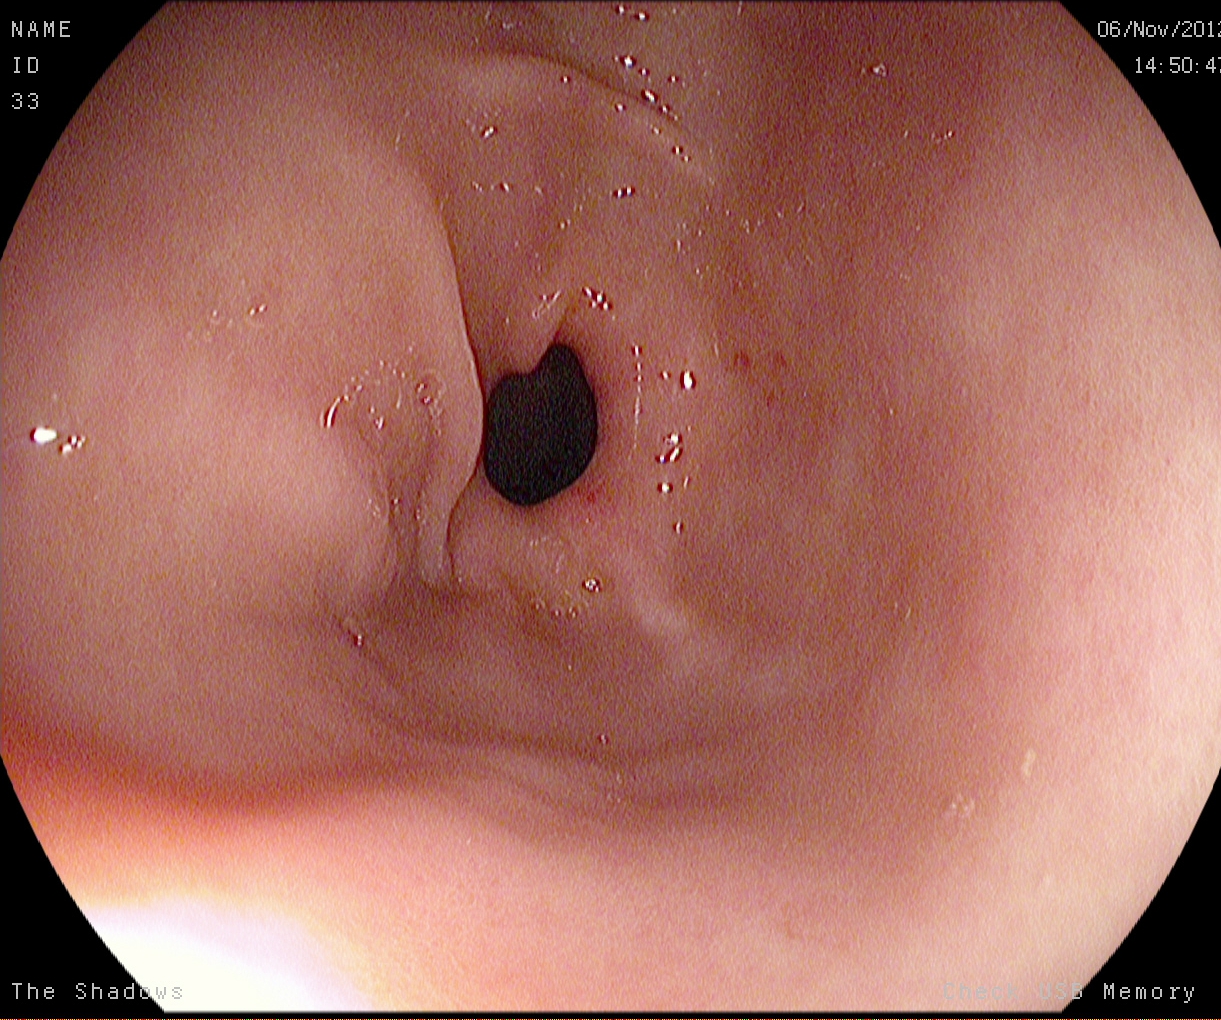modality: gastroscopy
tract: upper GI tract
finding: pylorus